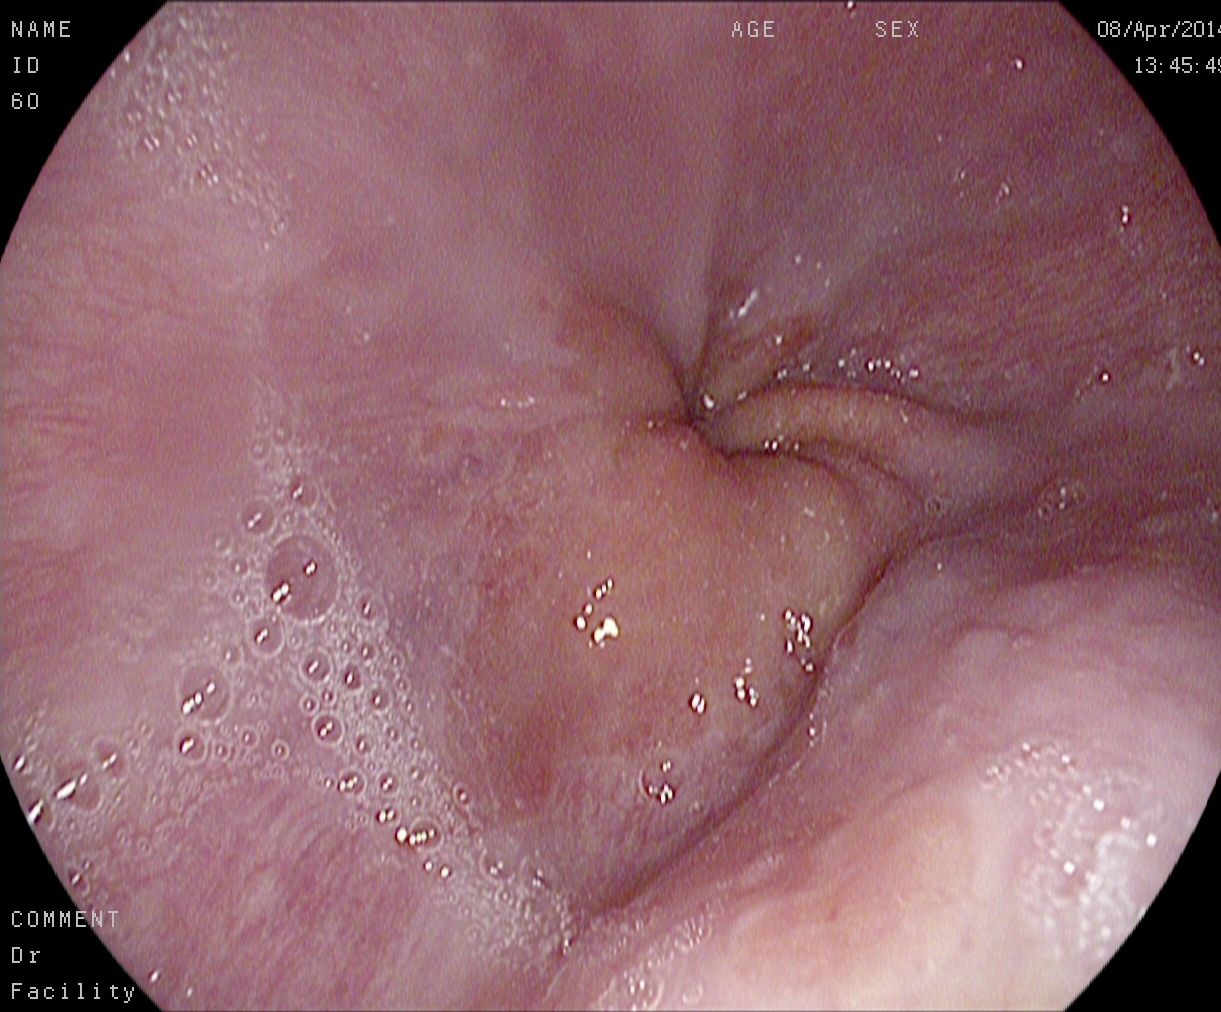Esophagogastroduodenoscopy. Tract: upper GI tract. Finding: Z-line (gastroesophageal junction).